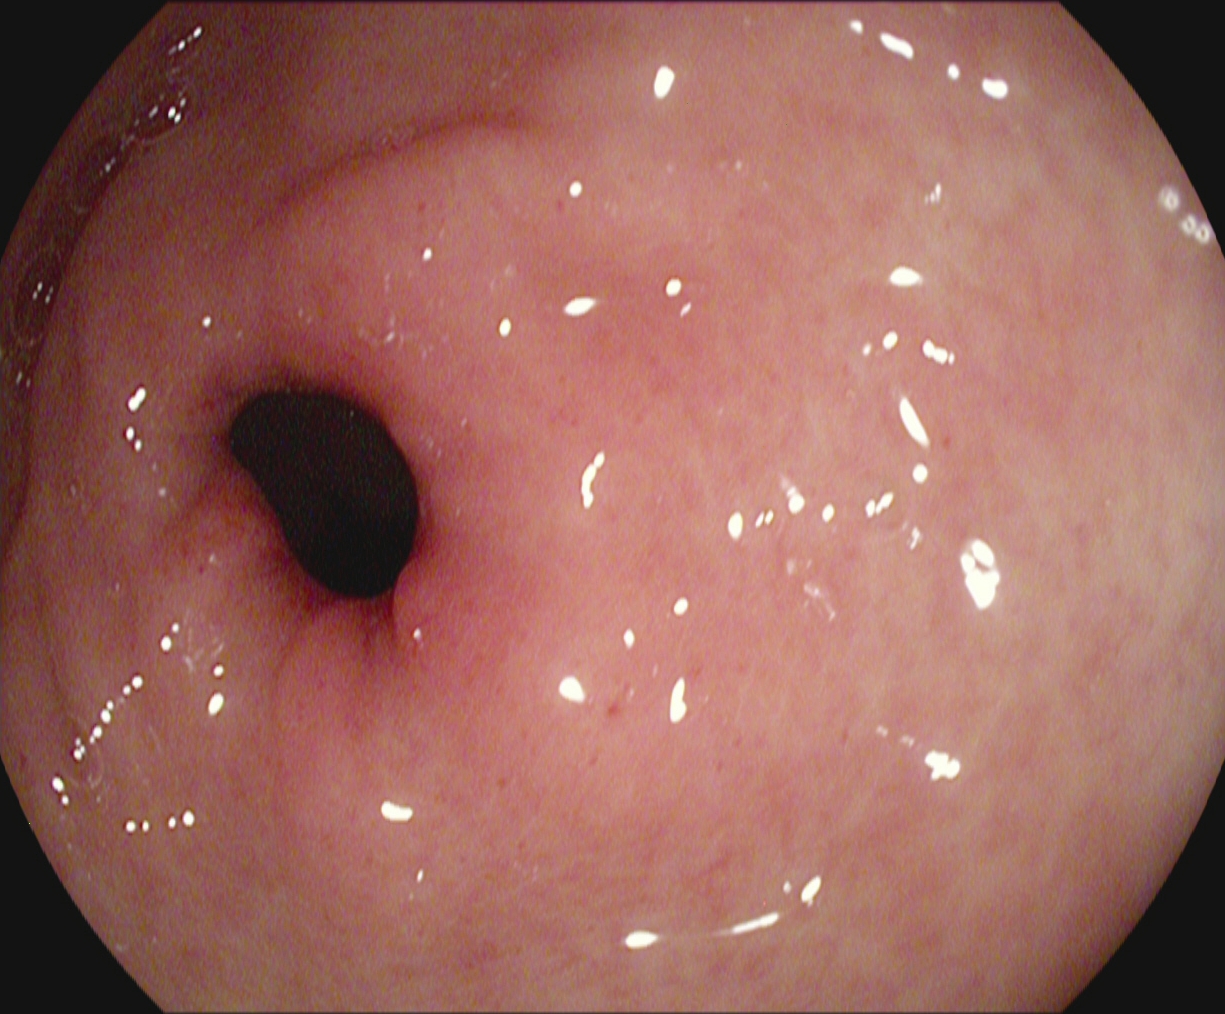Pylorus.